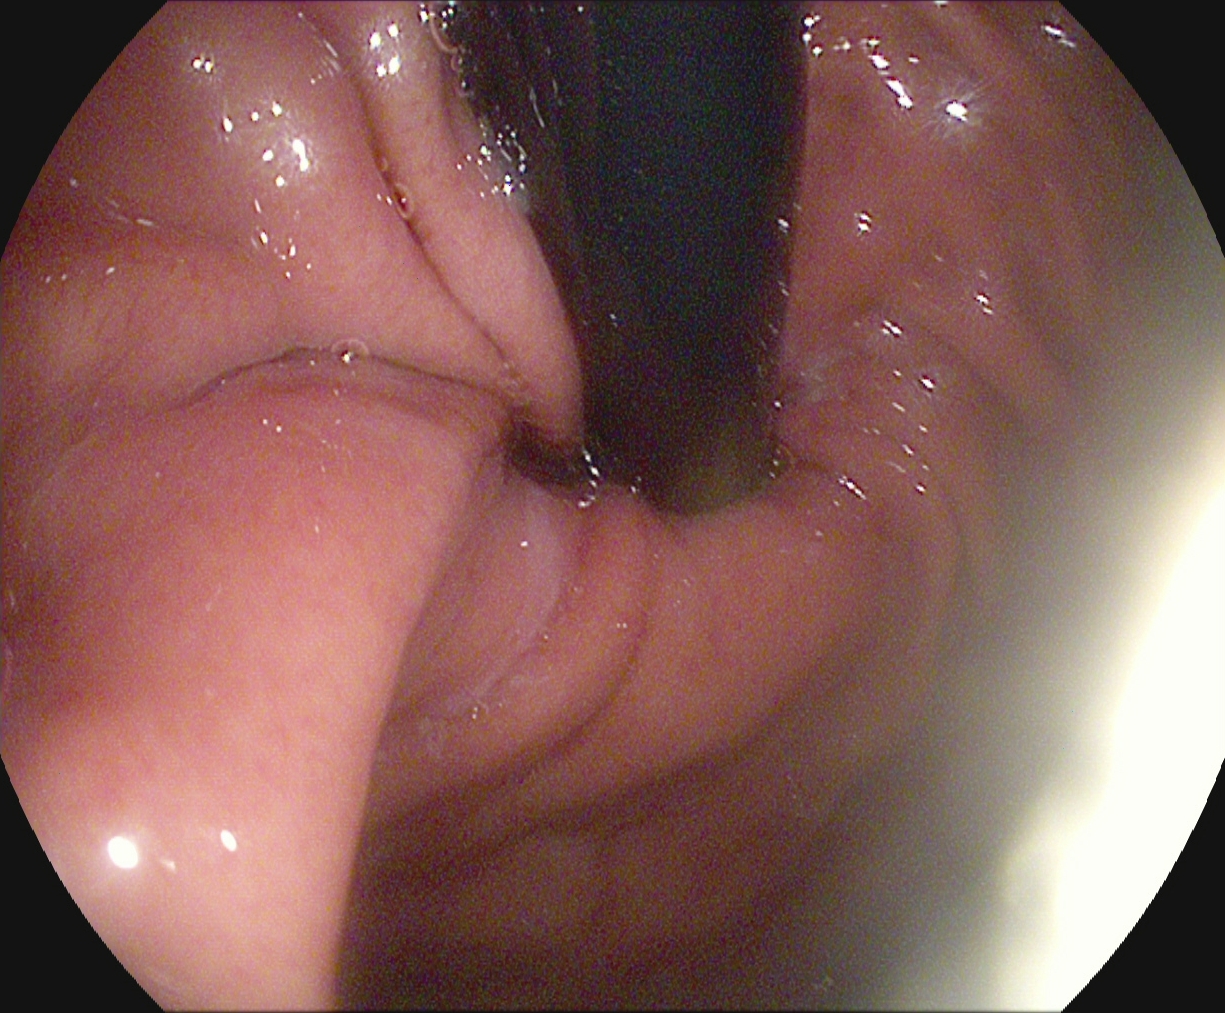Stomach in retroflexion.